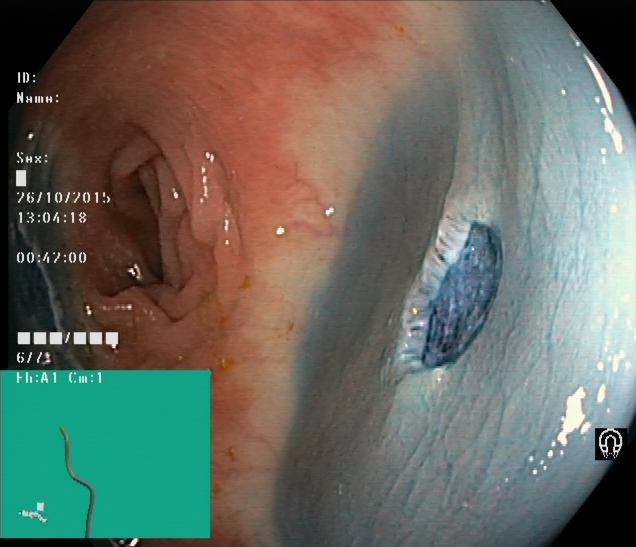Dyed resection margins (post-polypectomy).